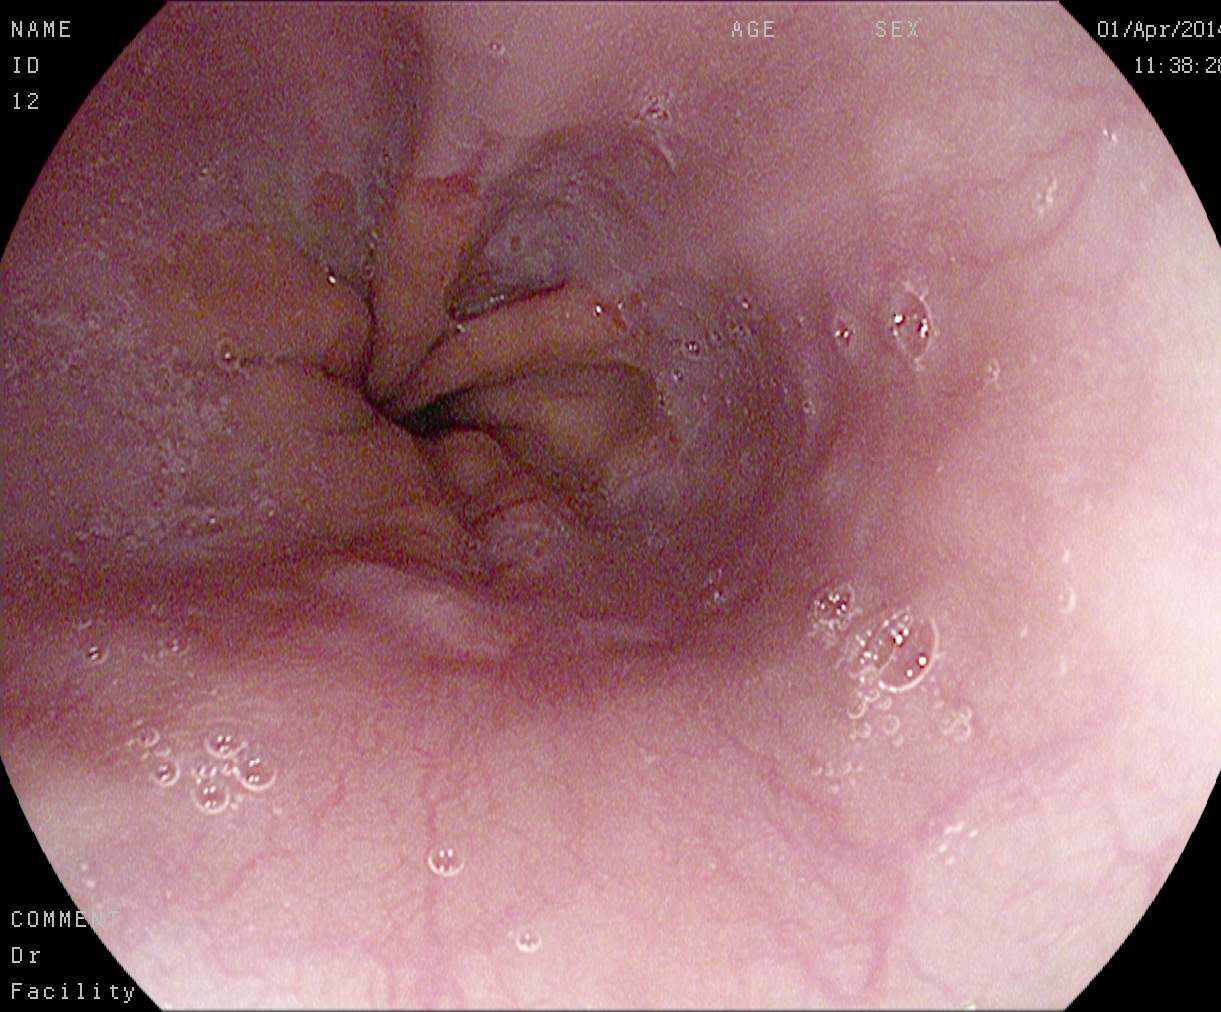{"modality": "esophagogastroduodenoscopy", "category": "pathological finding", "finding": "reflux esophagitis, Los Angeles grade A"}